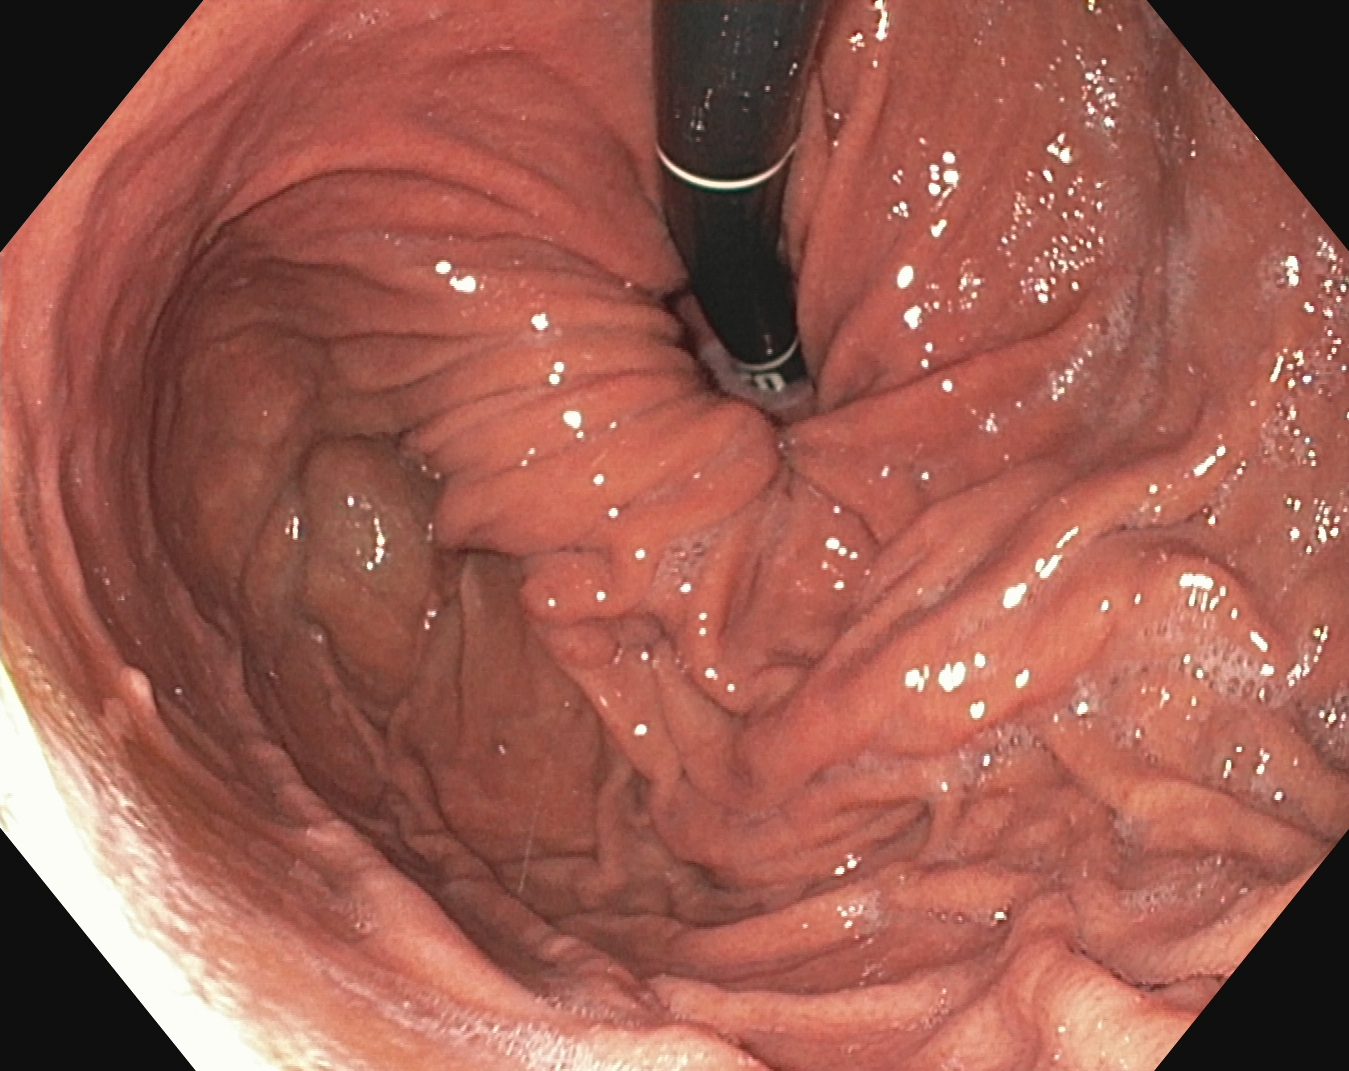This endoscopy frame of the upper GI tract shows stomach in retroflexion.